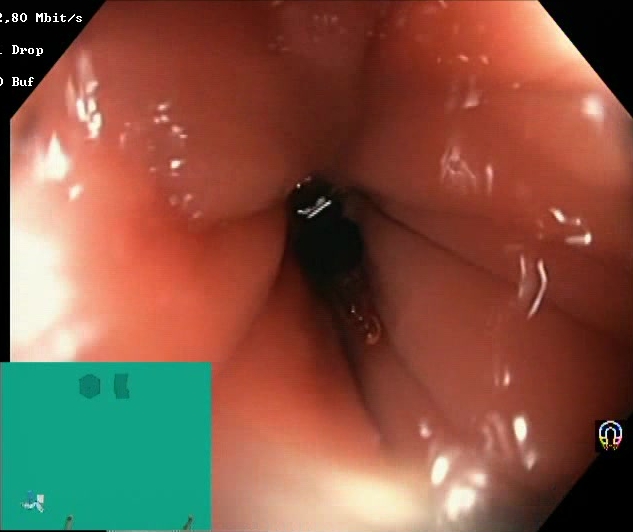Lower gastrointestinal endoscopy. Tract: lower GI tract. Finding: BBPS score 2–3 (adequate preparation).